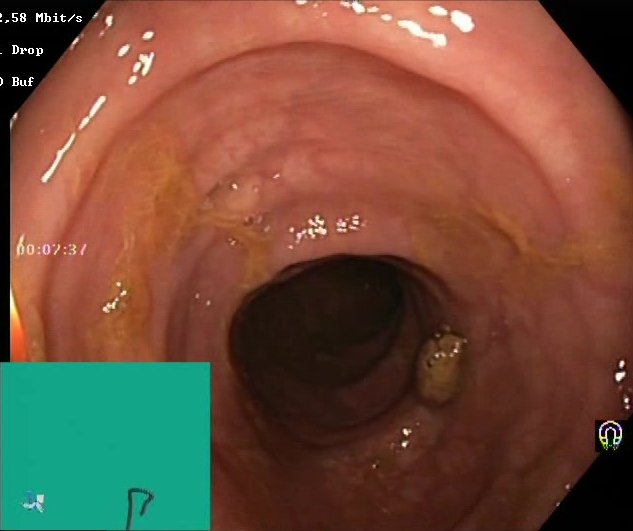Boston Bowel Preparation Scale score 2–3 (adequate preparation).